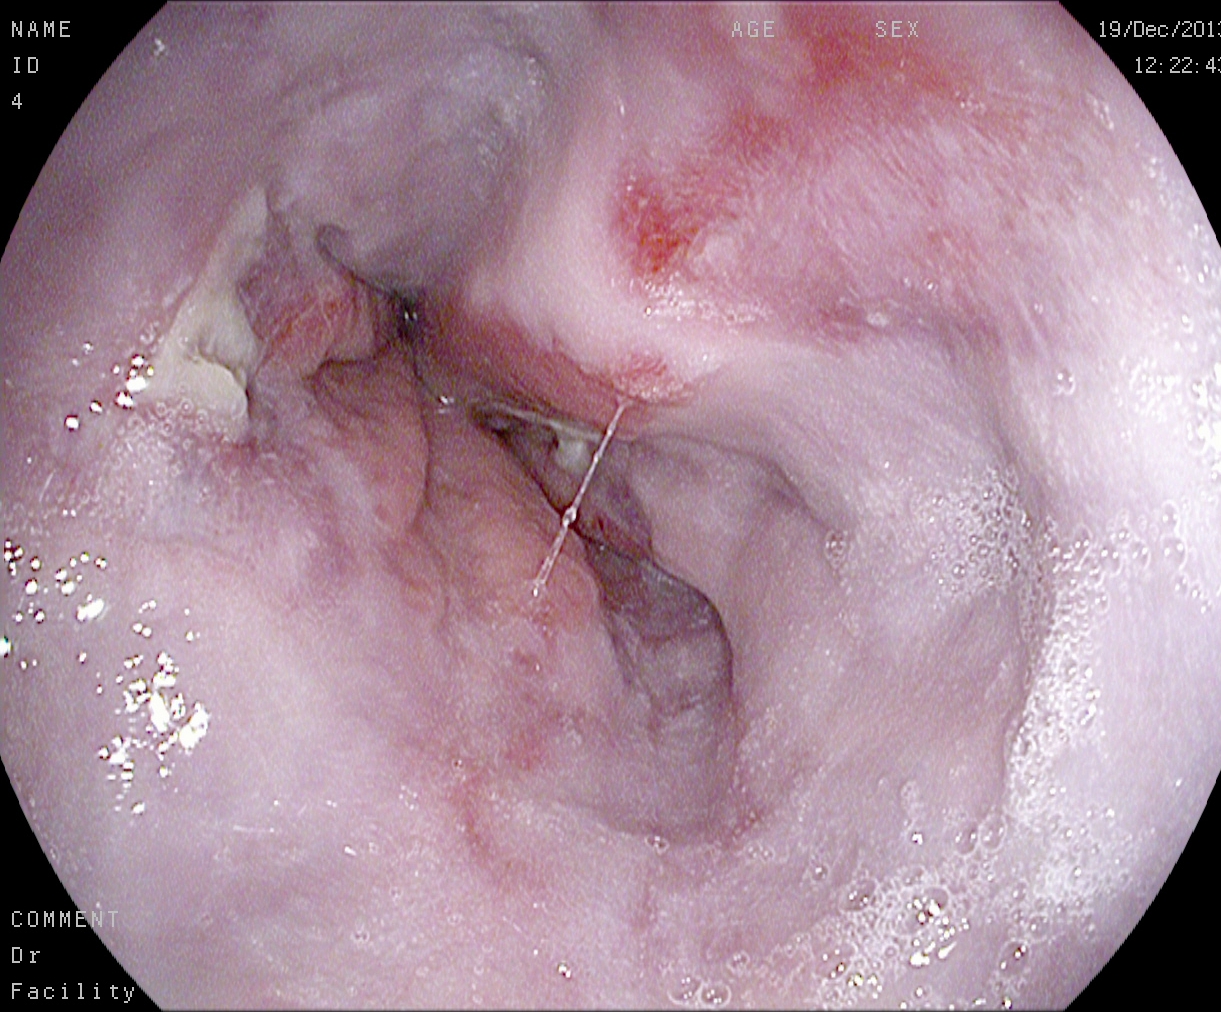Reflux esophagitis, Los Angeles grade B–D.